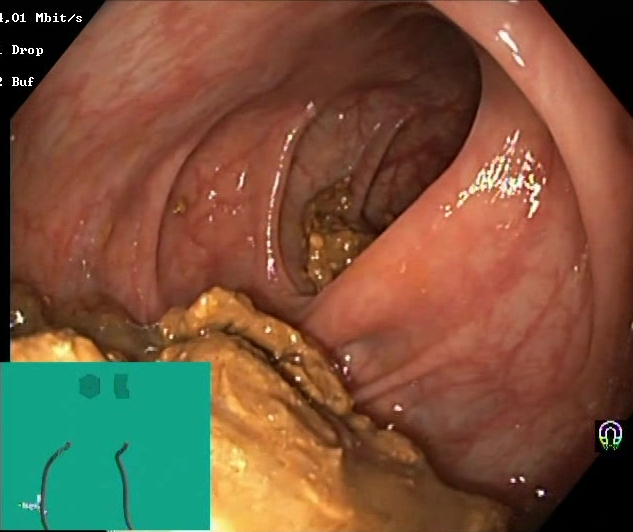Lower-GI endoscopy — Boston Bowel Preparation Scale score 0–1 (inadequate preparation).